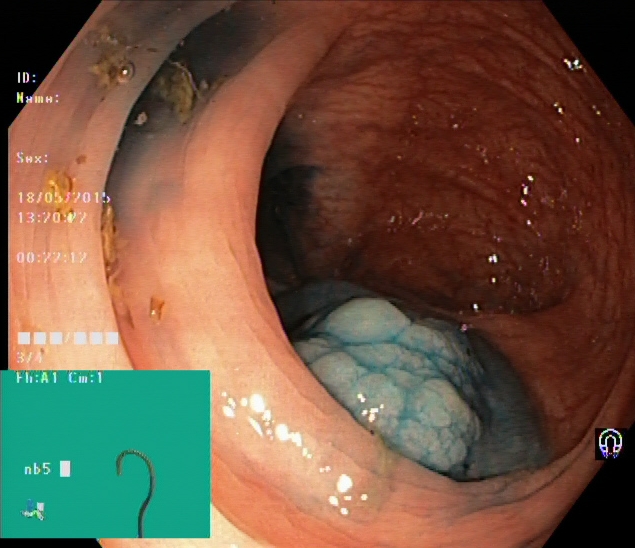PROCEDURE: Colonoscopy.
CATEGORY: Therapeutic intervention.
FINDINGS: Dyed and lifted polyp (pre-resection).